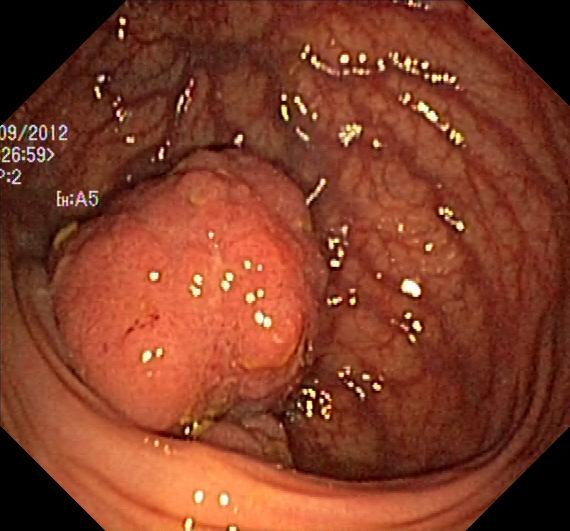PROCEDURE: Lower-GI endoscopy.
CATEGORY: Pathological finding.
FINDINGS: Colorectal polyp(s).